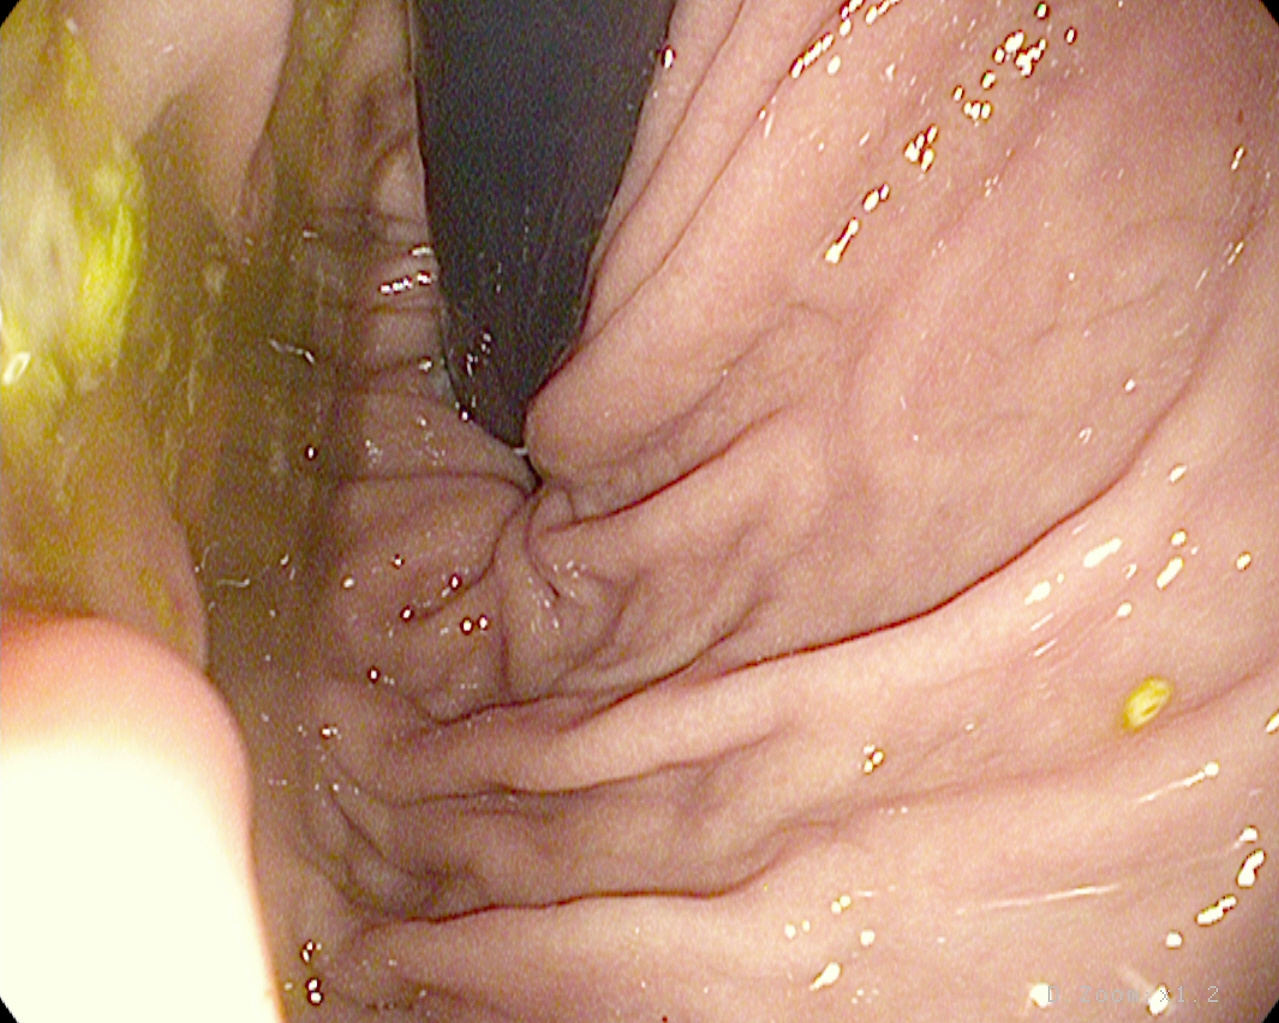modality: esophagogastroduodenoscopy | tract: upper GI tract | finding: stomach in retroflexion